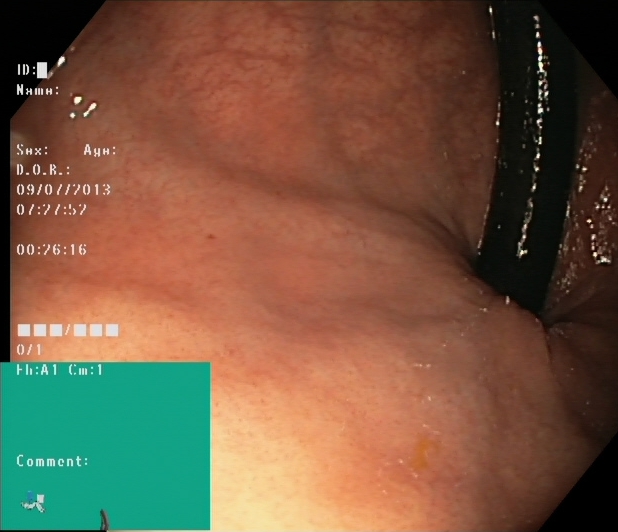PROCEDURE: Colonoscopy.
CATEGORY: Anatomical landmark.
FINDINGS: Rectum in retroflexion.